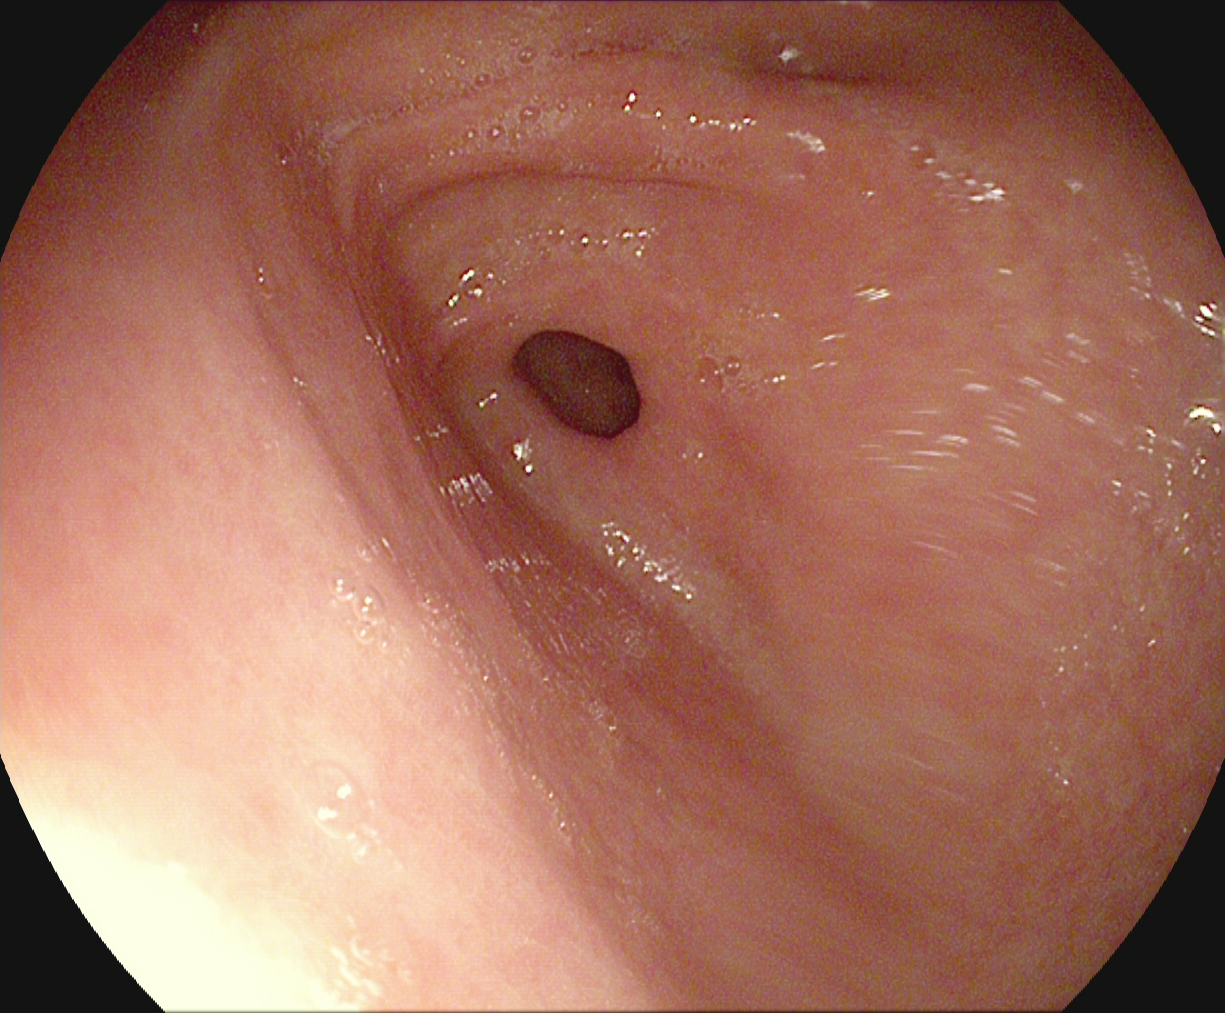modality: esophagogastroduodenoscopy
category: anatomical landmark
finding: pylorus